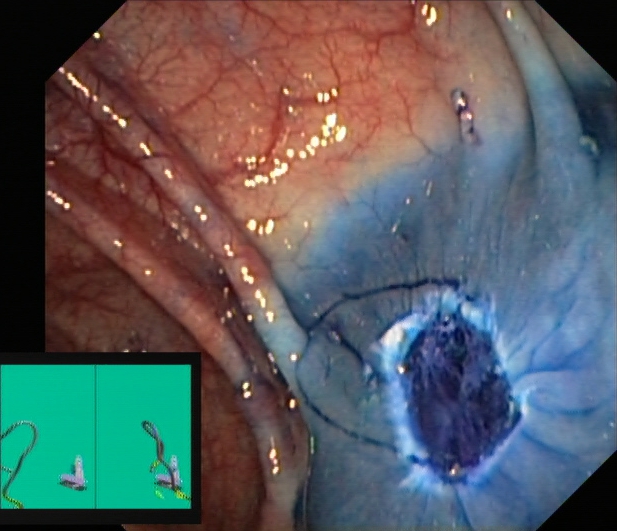{"modality": "colonoscopy", "finding": "dyed resection margins (post-polypectomy)"}